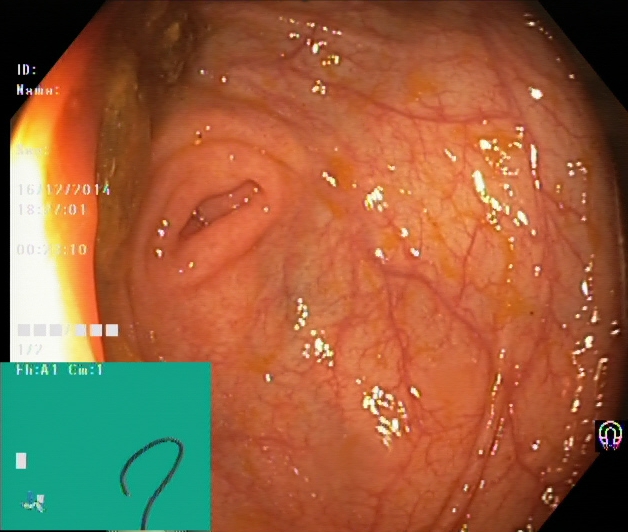PROCEDURE: Lower gastrointestinal endoscopy.
FINDINGS: Cecum.